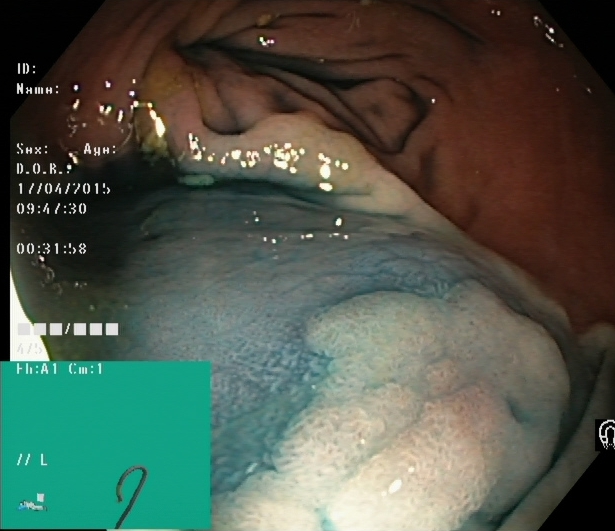{"modality": "lower-GI endoscopy", "tract": "lower GI tract", "finding": "dyed and lifted polyp (pre-resection)"}